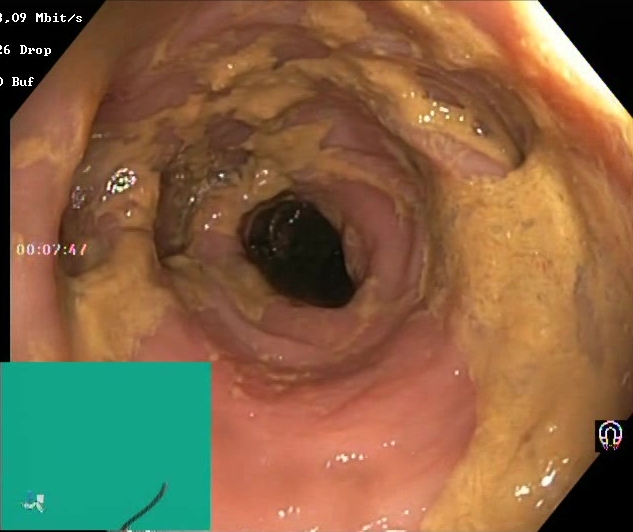PROCEDURE: Lower gastrointestinal endoscopy.
FINDINGS: BBPS score 0–1 (inadequate preparation).